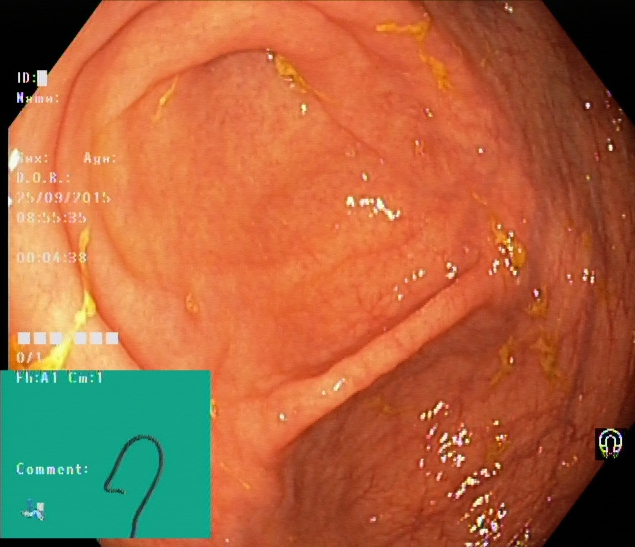This endoscopy frame shows cecum.